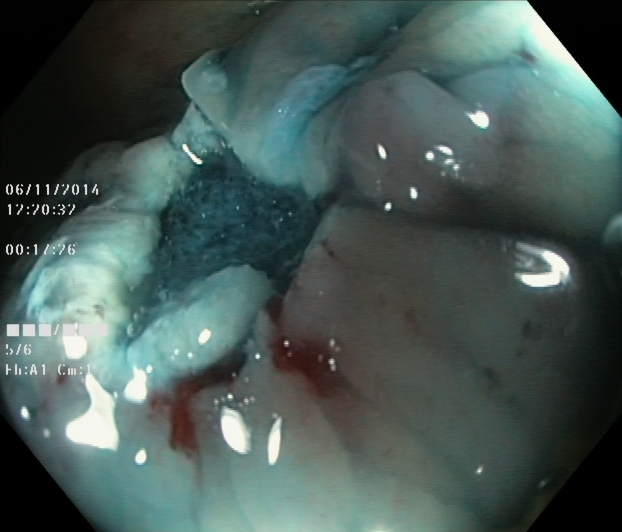{"modality": "colonoscopy", "finding": "dyed resection margins (post-polypectomy)"}